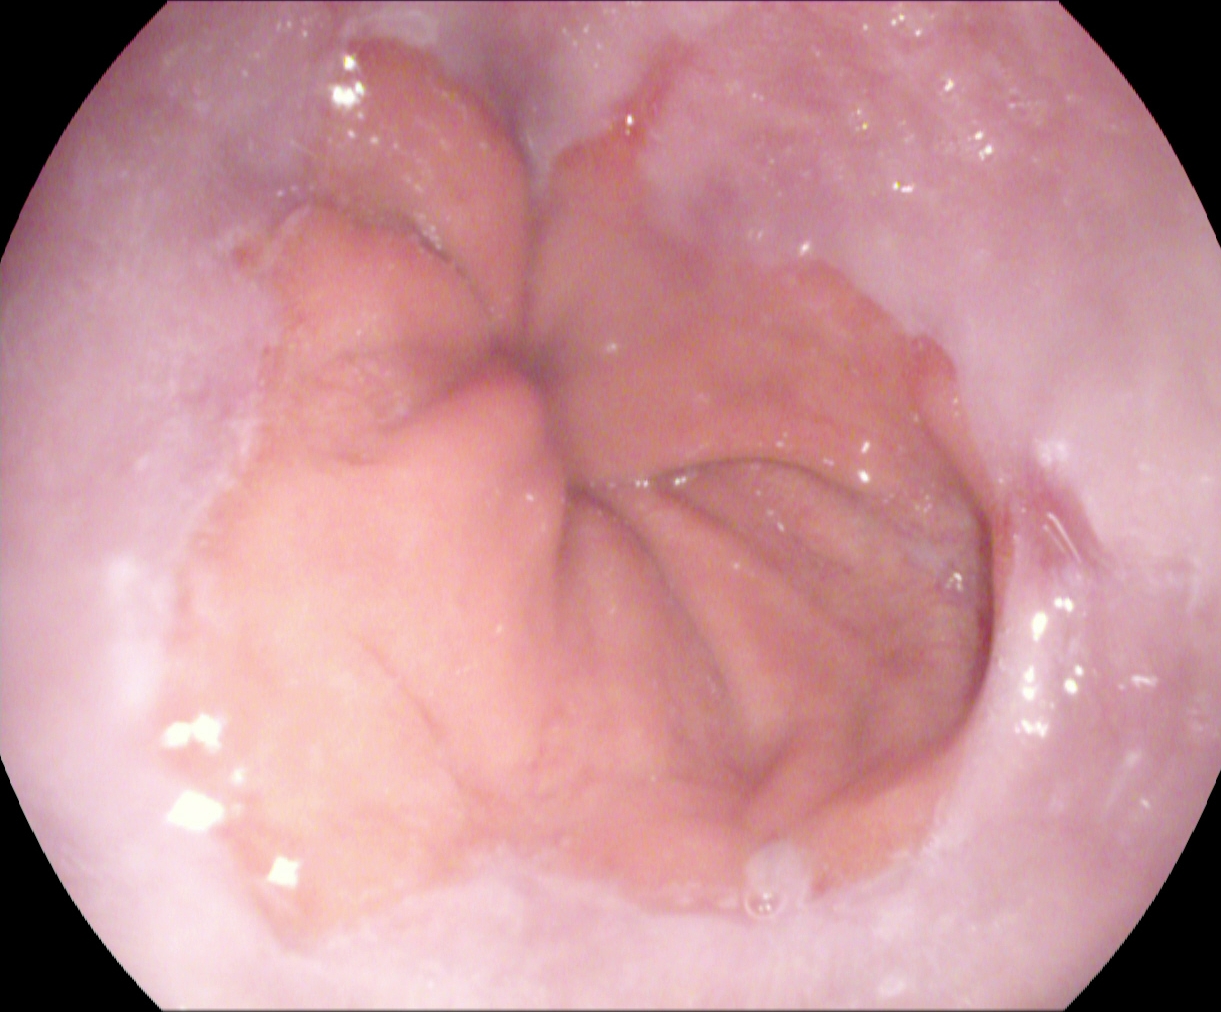Gastroscopy. Finding: reflux esophagitis, Los Angeles grade A.